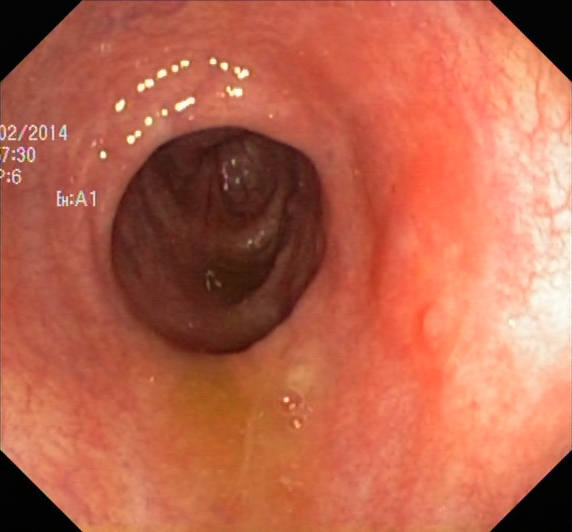Endoscopic image of the lower GI tract showing ulcerative colitis, Mayo endoscopic subscore 1.